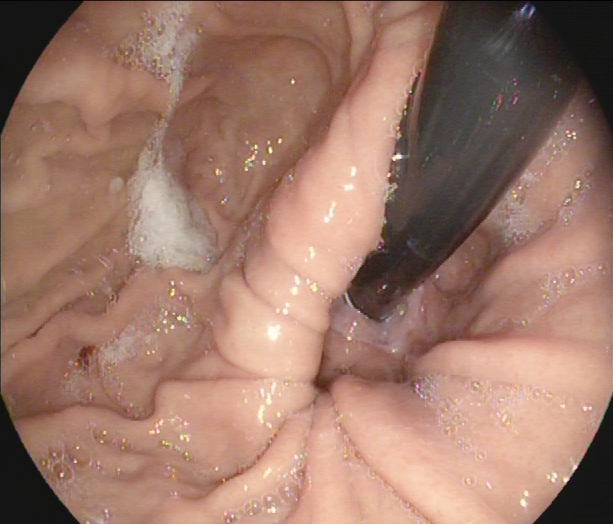{"modality": "esophagogastroduodenoscopy", "finding": "stomach in retroflexion"}